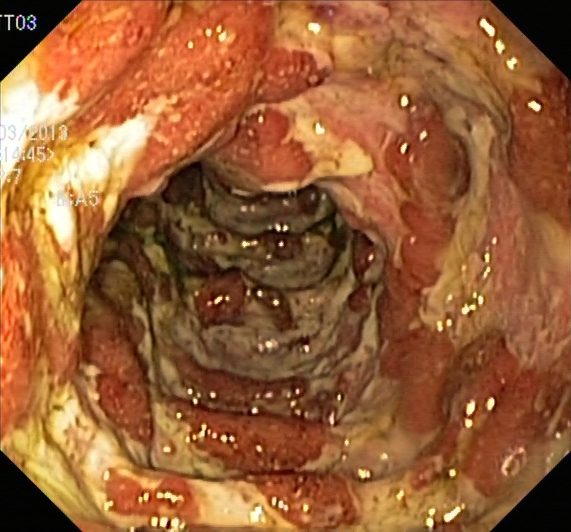This endoscopy frame of the lower GI tract shows UC, Mayo endoscopic subscore 3.